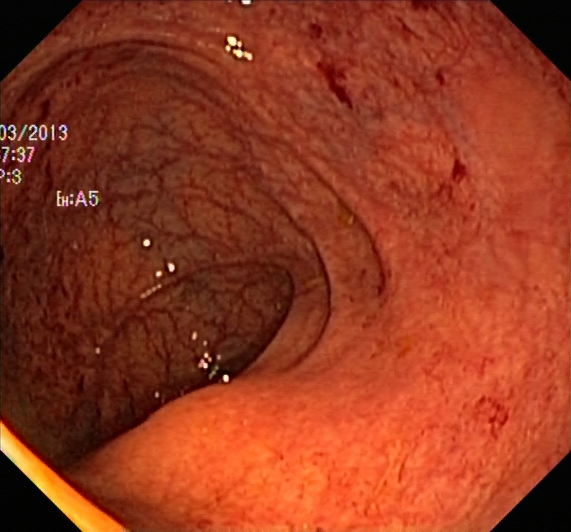Colonoscopy. Pathological finding. Finding: UC, Mayo endoscopic subscore 1.